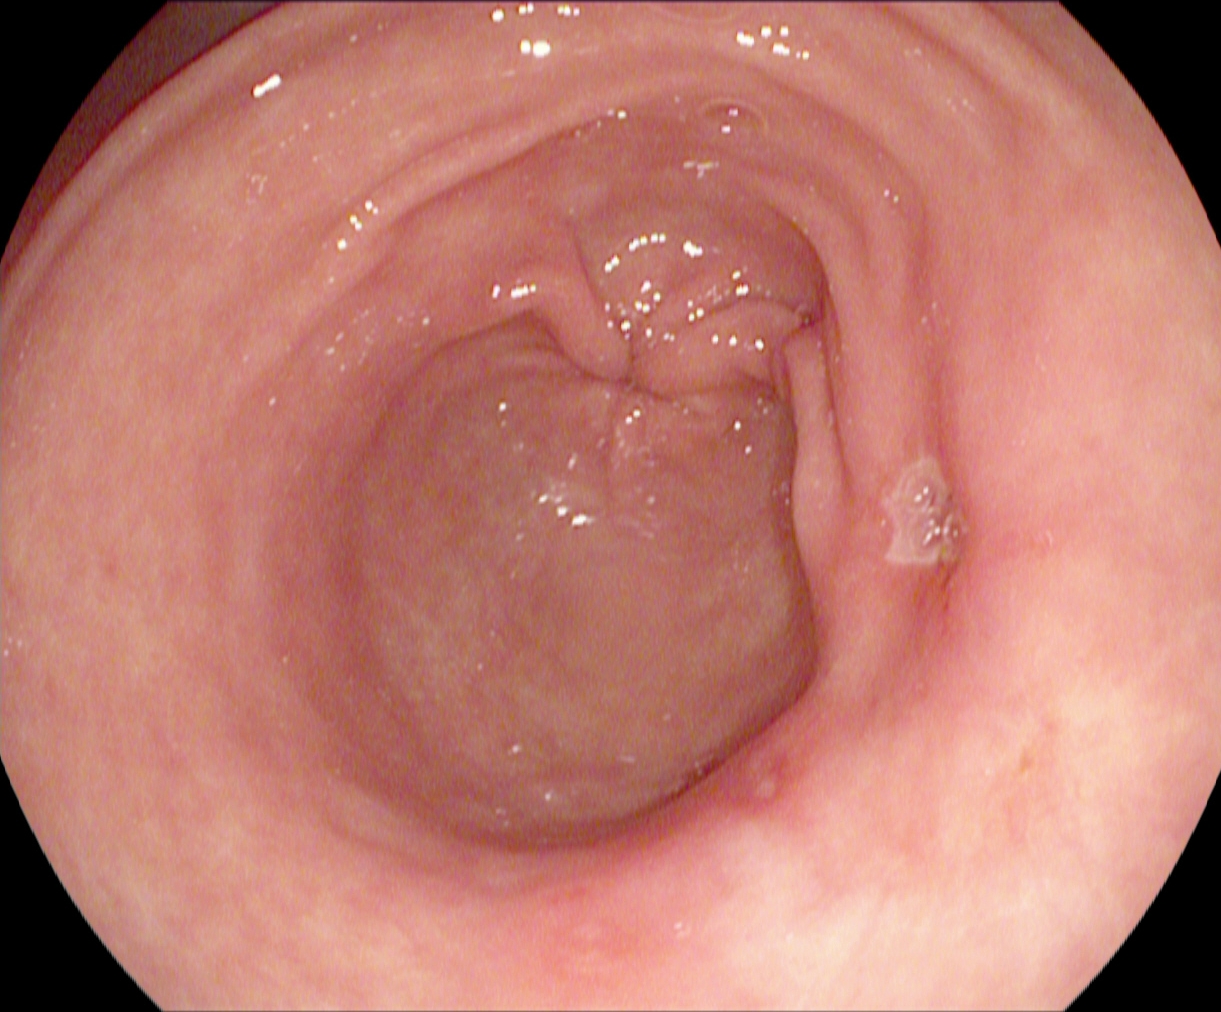Gastroscopy. Finding: pylorus.